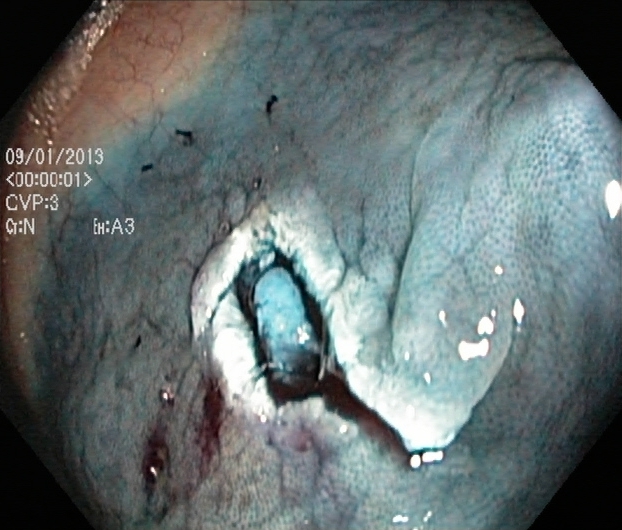This endoscopy frame shows dyed resection margins (post-polypectomy).